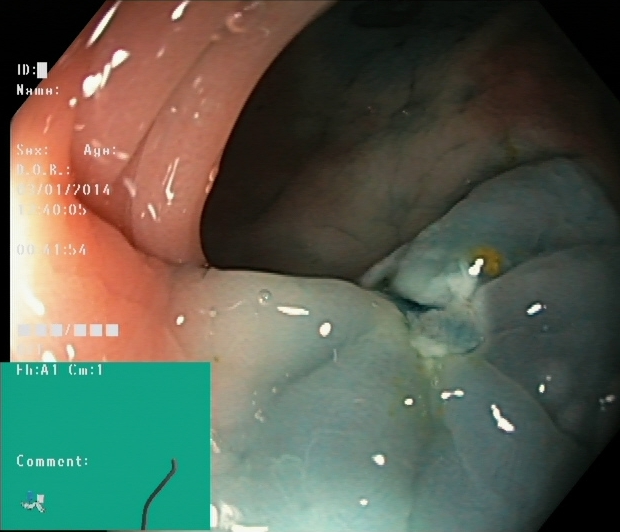Lower gastrointestinal endoscopy. Finding: dyed resection margins (post-polypectomy).